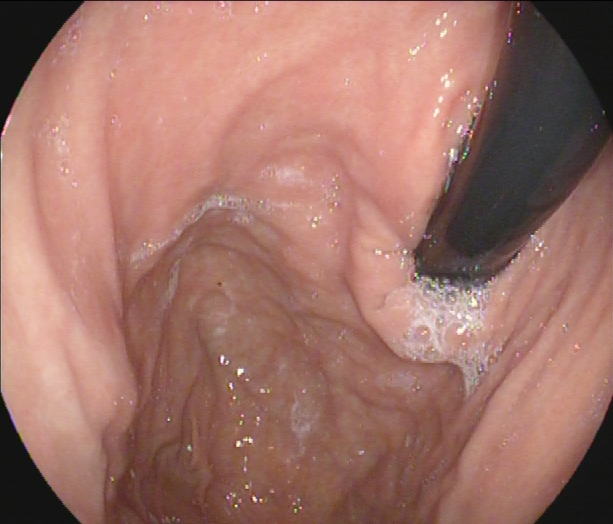PROCEDURE: Esophagogastroduodenoscopy.
CATEGORY: Anatomical landmark.
FINDINGS: Stomach in retroflexion.